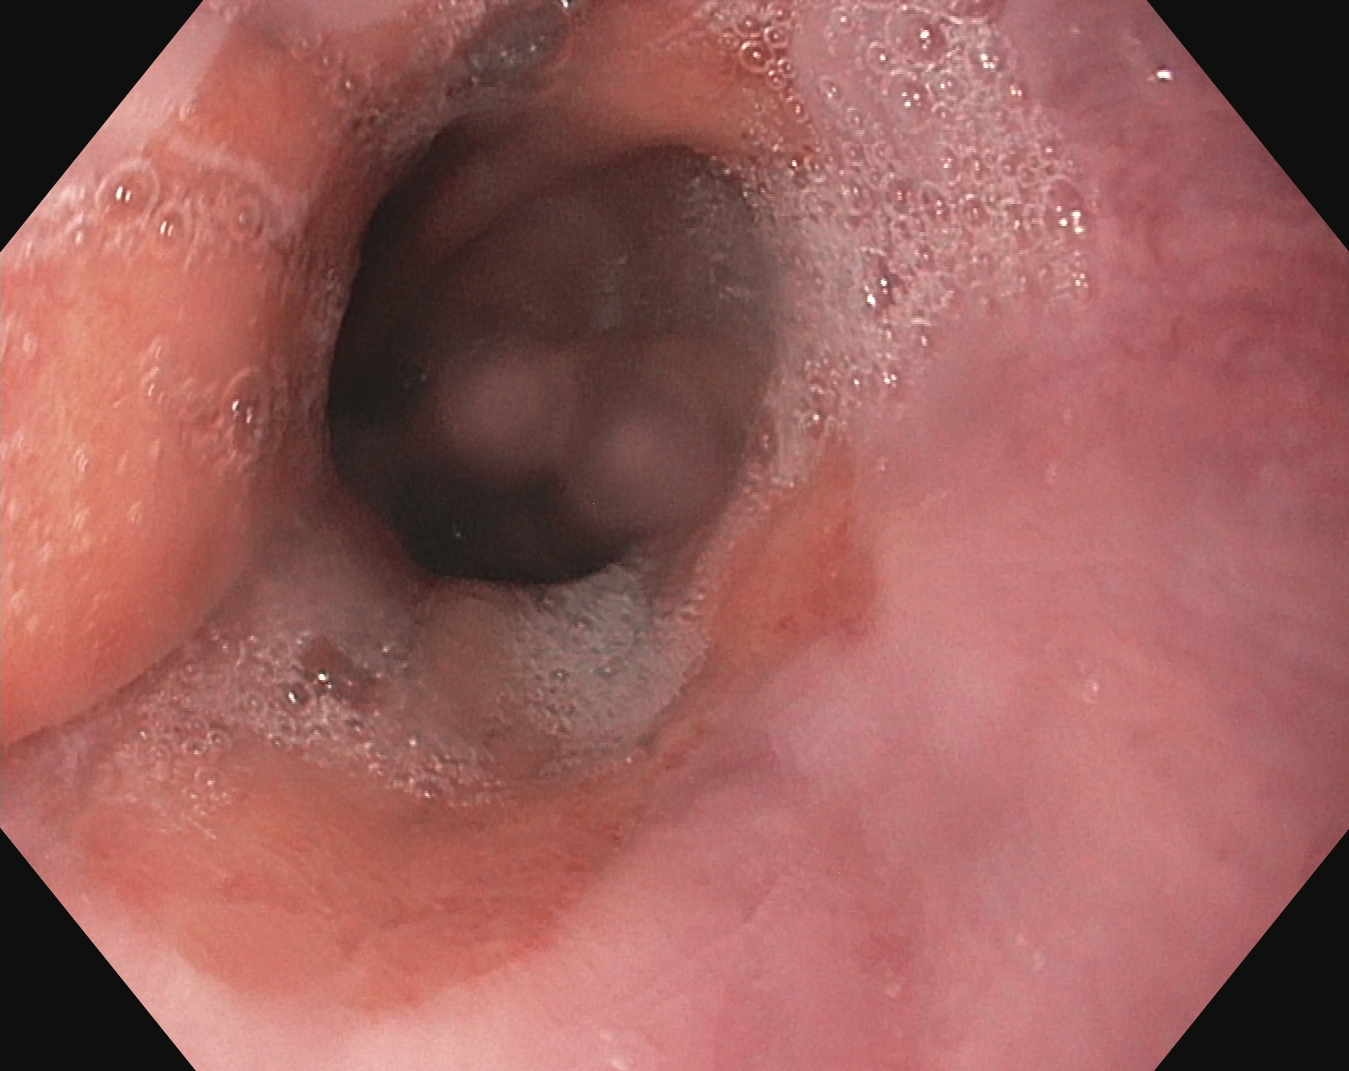Z-line (gastroesophageal junction).